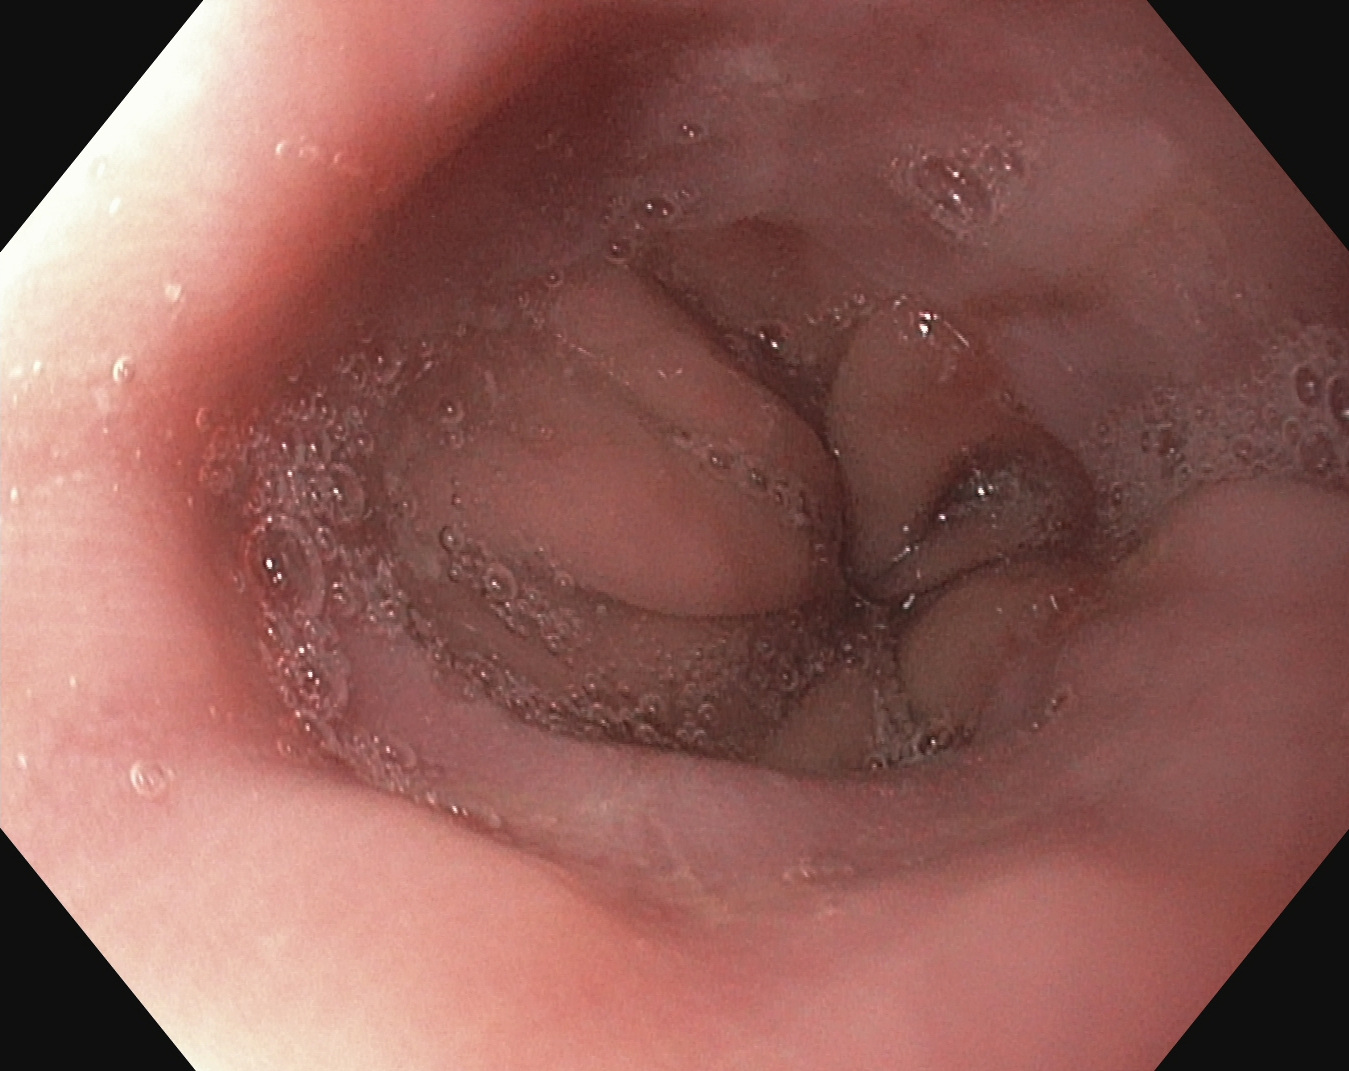{"modality": "gastroscopy", "tract": "upper GI tract", "finding": "reflux esophagitis, Los Angeles grade A"}